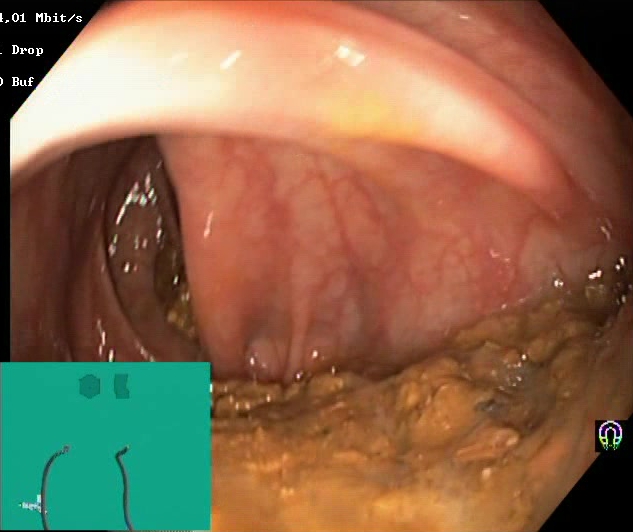modality: colonoscopy
finding: Boston Bowel Preparation Scale score 0–1 (inadequate preparation)